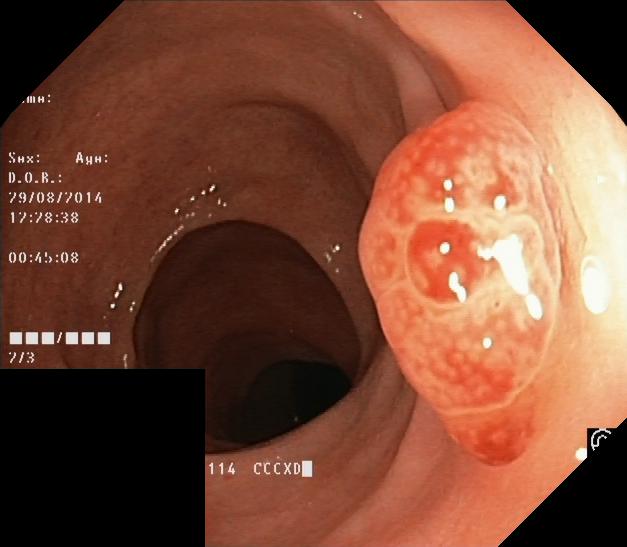This endoscopy frame shows colorectal polyp(s).